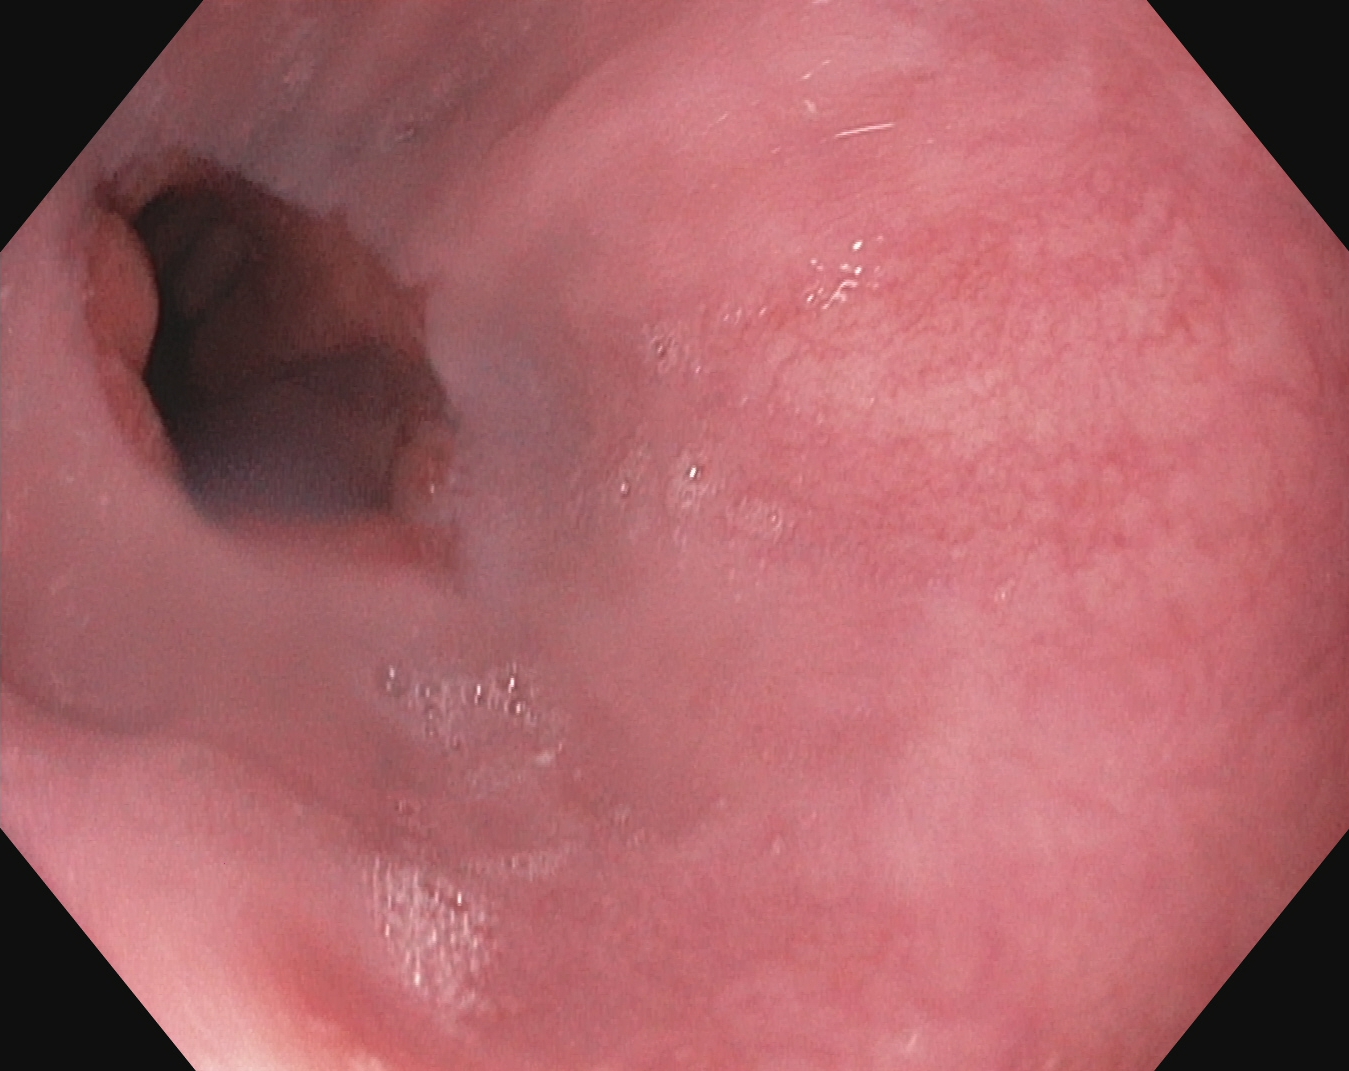PROCEDURE: Upper-GI endoscopy.
FINDINGS: Z-line (gastroesophageal junction).